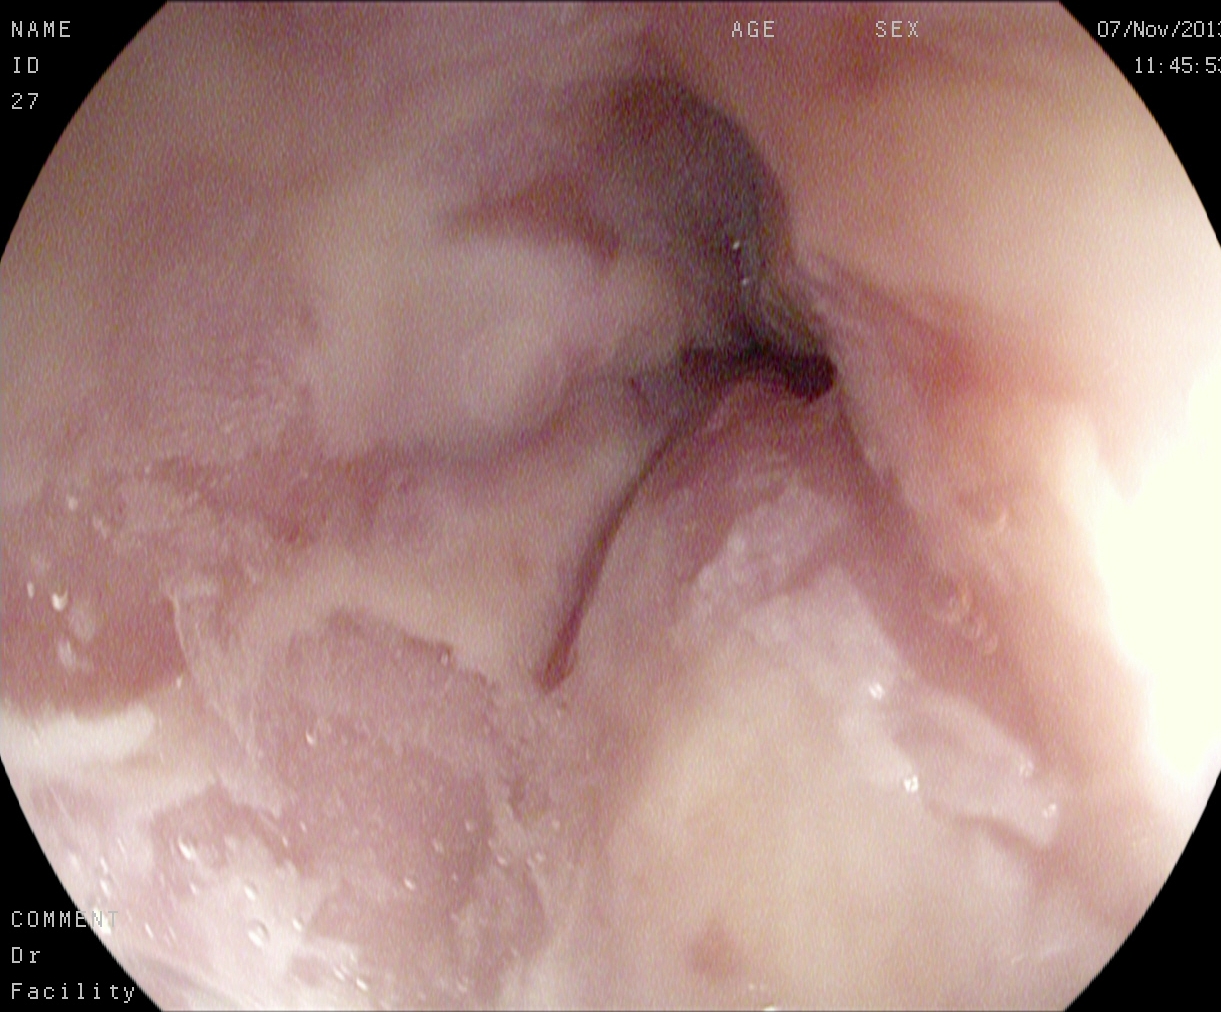{"modality": "gastroscopy", "tract": "upper GI tract", "category": "pathological finding", "finding": "reflux esophagitis, Los Angeles grade B\u2013D"}